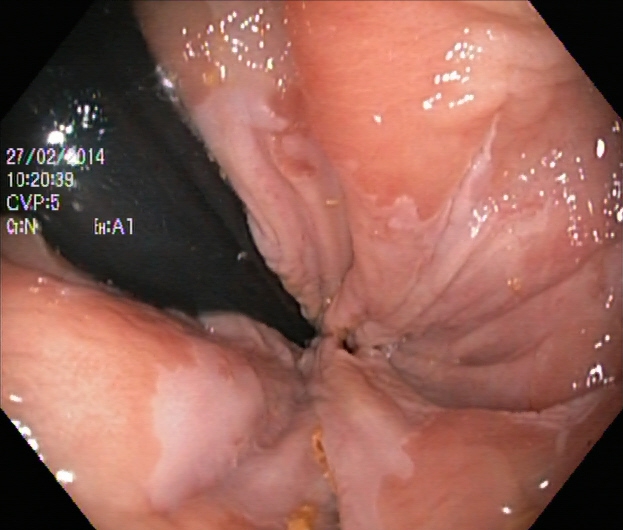Lower gastrointestinal endoscopy. Anatomical landmark. Finding: rectum in retroflexion.